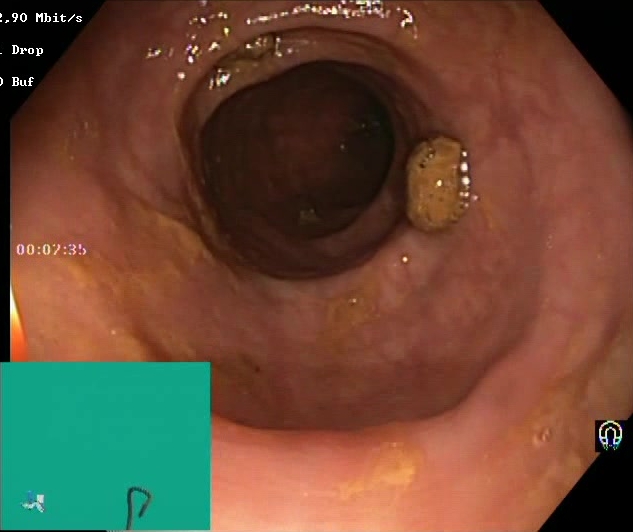PROCEDURE: Lower-GI endoscopy.
CATEGORY: Mucosal-view quality.
FINDINGS: Impacted stool.